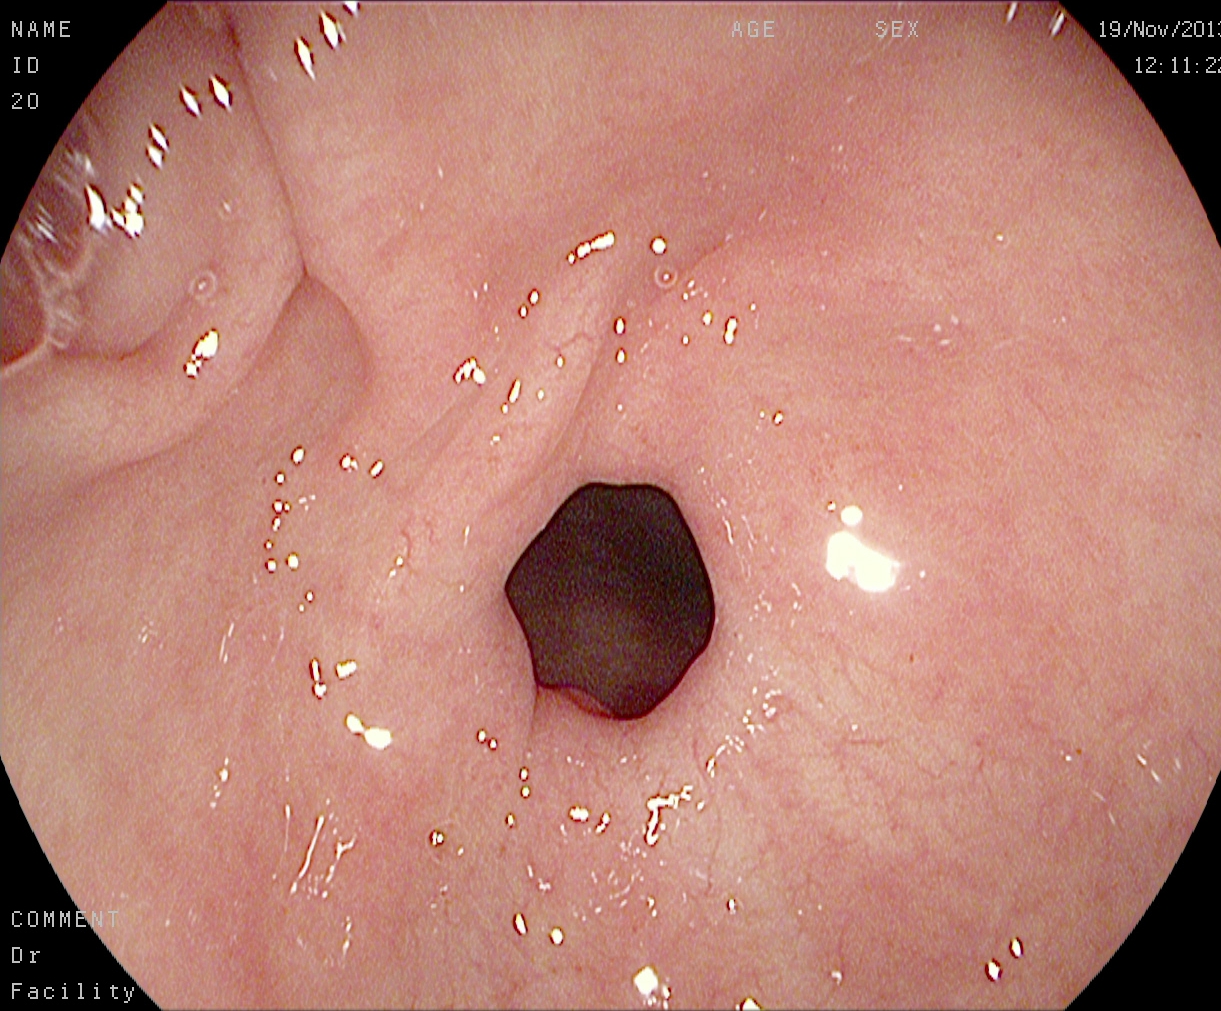Pylorus.